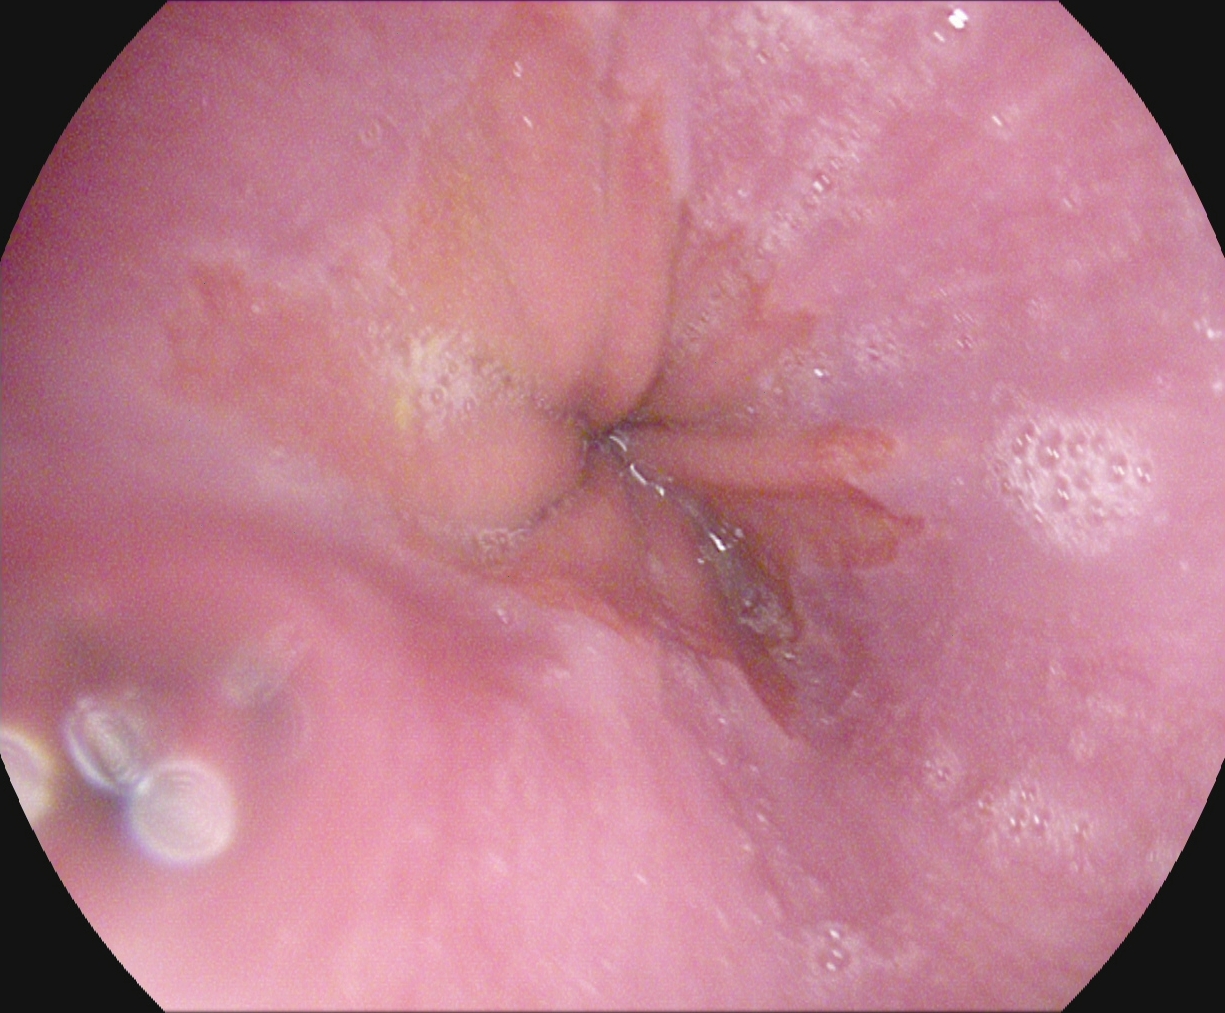{"modality": "esophagogastroduodenoscopy", "tract": "upper GI tract", "finding": "Z-line (gastroesophageal junction)"}